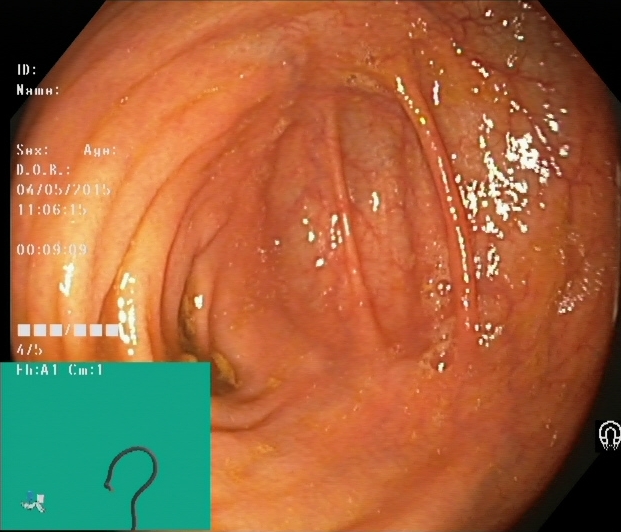PROCEDURE: Colonoscopy.
FINDINGS: Cecum.